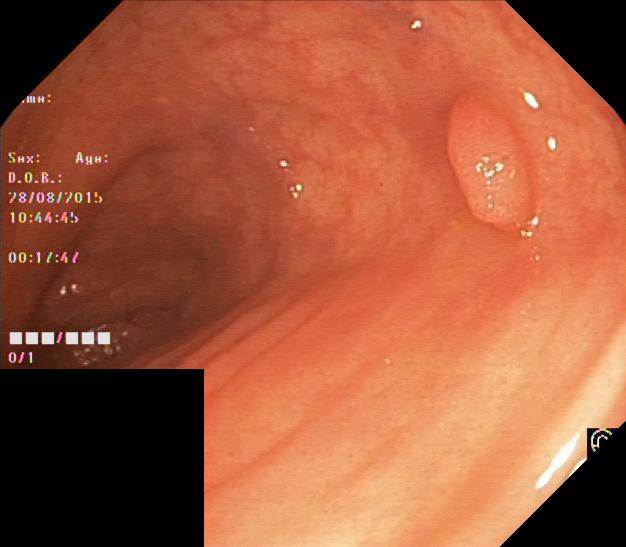Lower gastrointestinal endoscopy. Tract: lower GI tract. Finding: colorectal polyp(s).